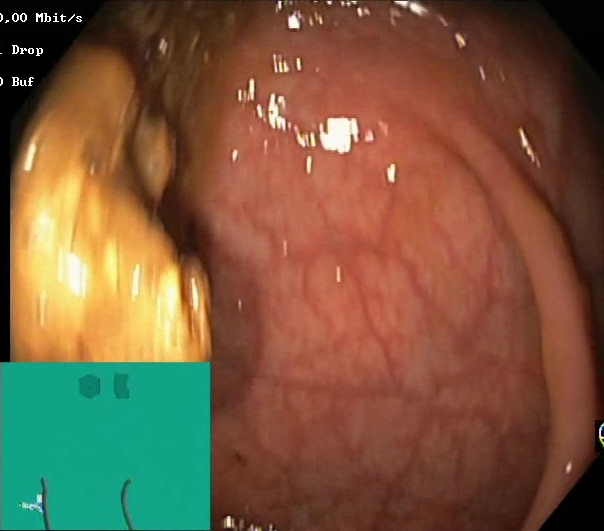Colonoscopy — Boston Bowel Preparation Scale score 0–1 (inadequate preparation).